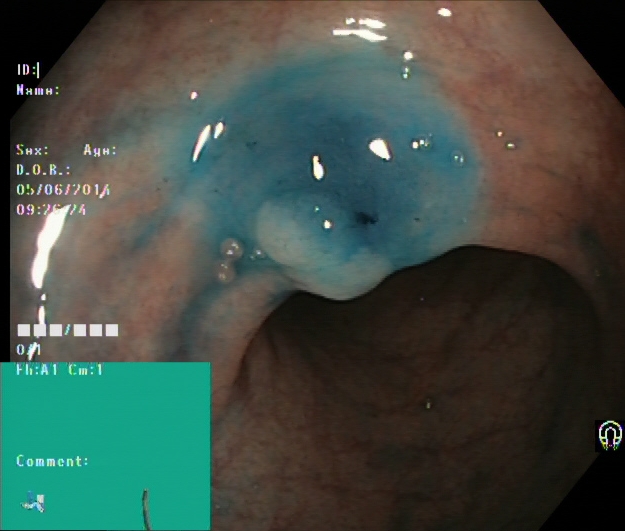modality: lower-GI endoscopy | finding: dyed and lifted polyp (pre-resection)